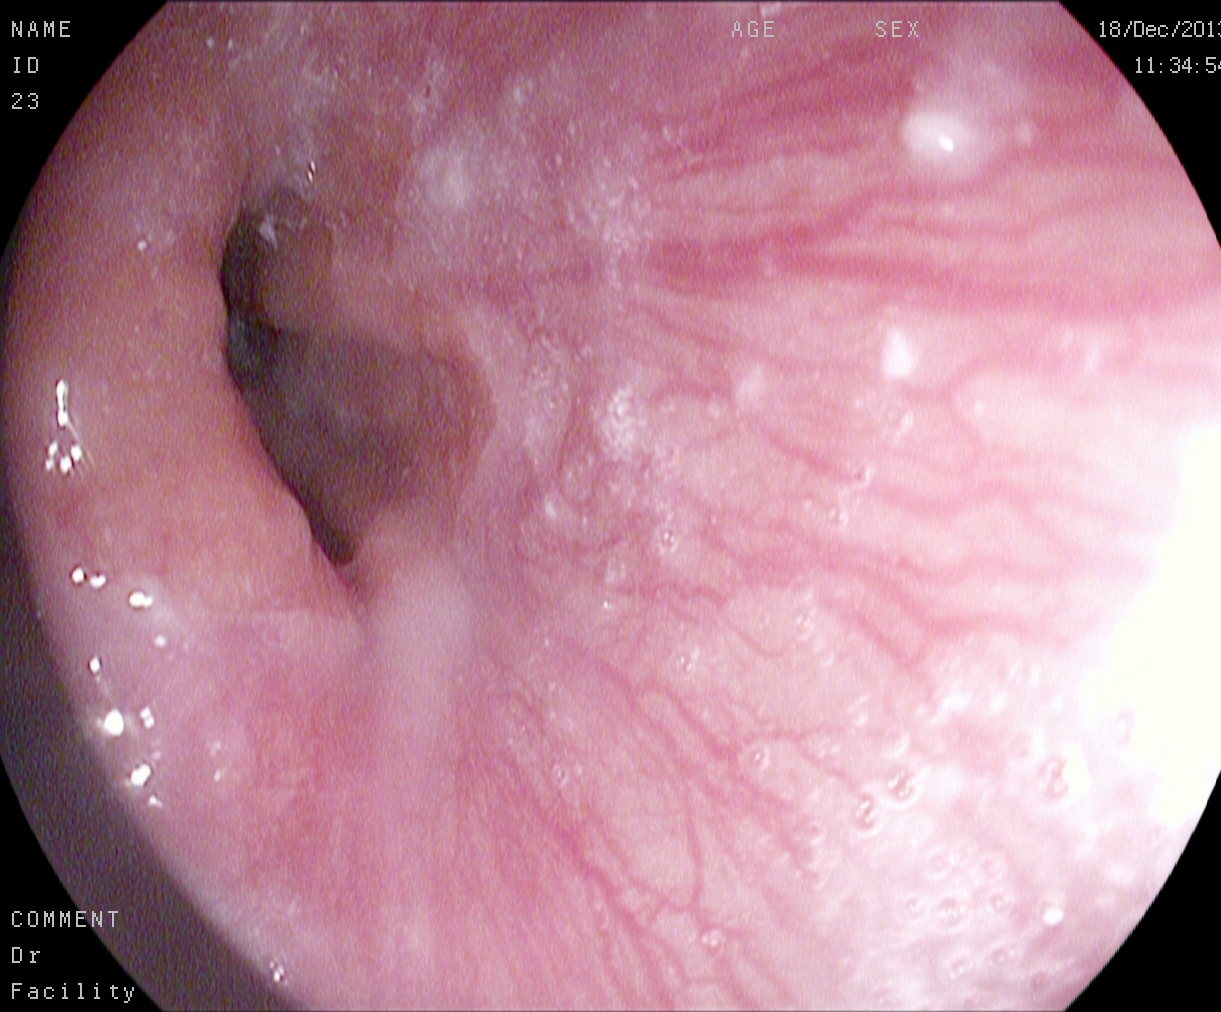Upper-GI endoscopy — Z-line (gastroesophageal junction).